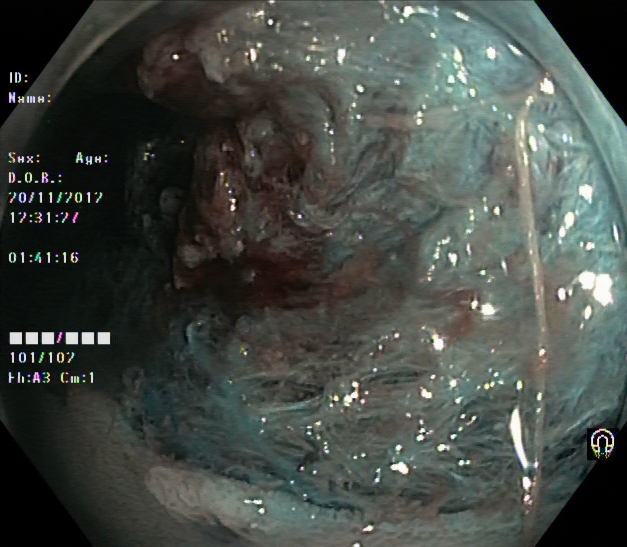modality: colonoscopy
finding: dyed resection margins (post-polypectomy)